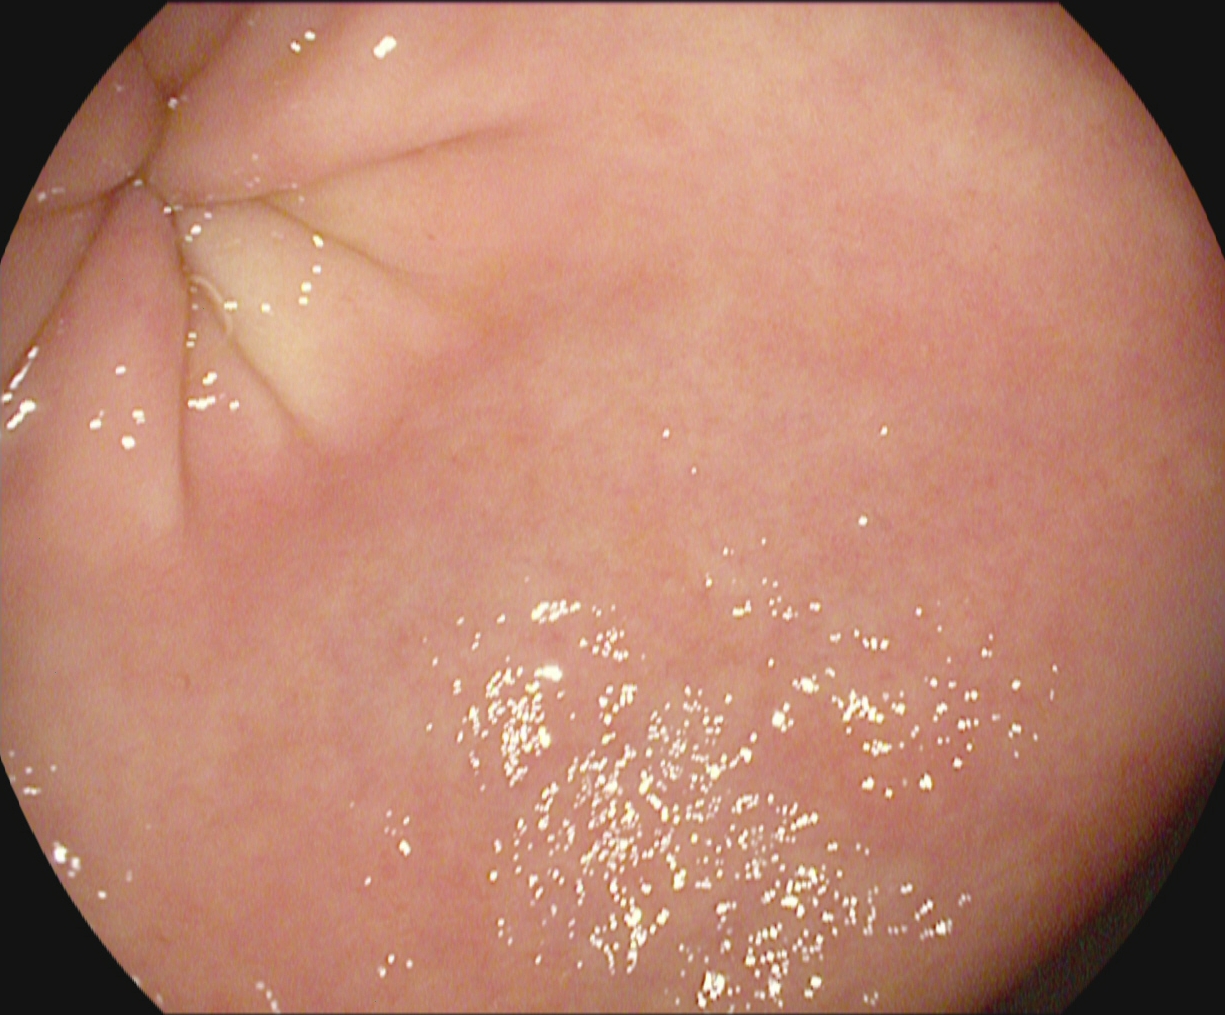modality: upper-GI endoscopy; category: anatomical landmark; finding: pylorus